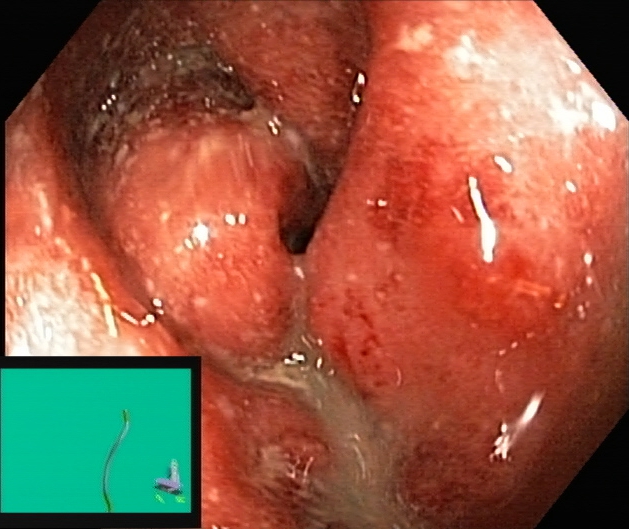Lower gastrointestinal endoscopy — ulcerative colitis, Mayo endoscopic subscore 2–3.